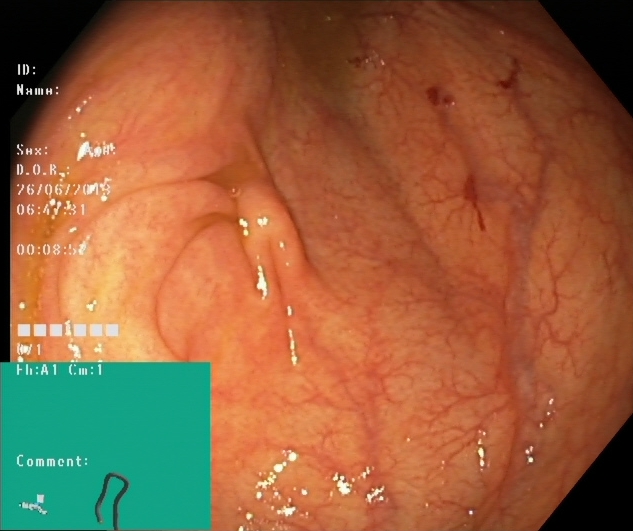modality: lower-GI endoscopy; category: anatomical landmark; finding: cecum